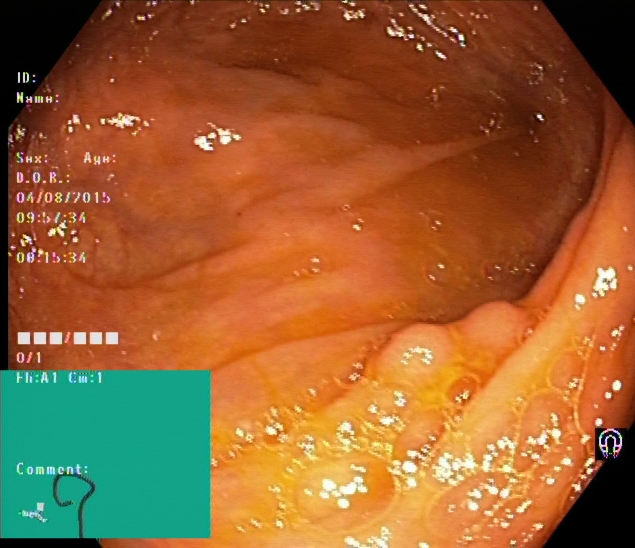modality: lower gastrointestinal endoscopy | tract: lower GI tract | category: anatomical landmark | finding: cecum